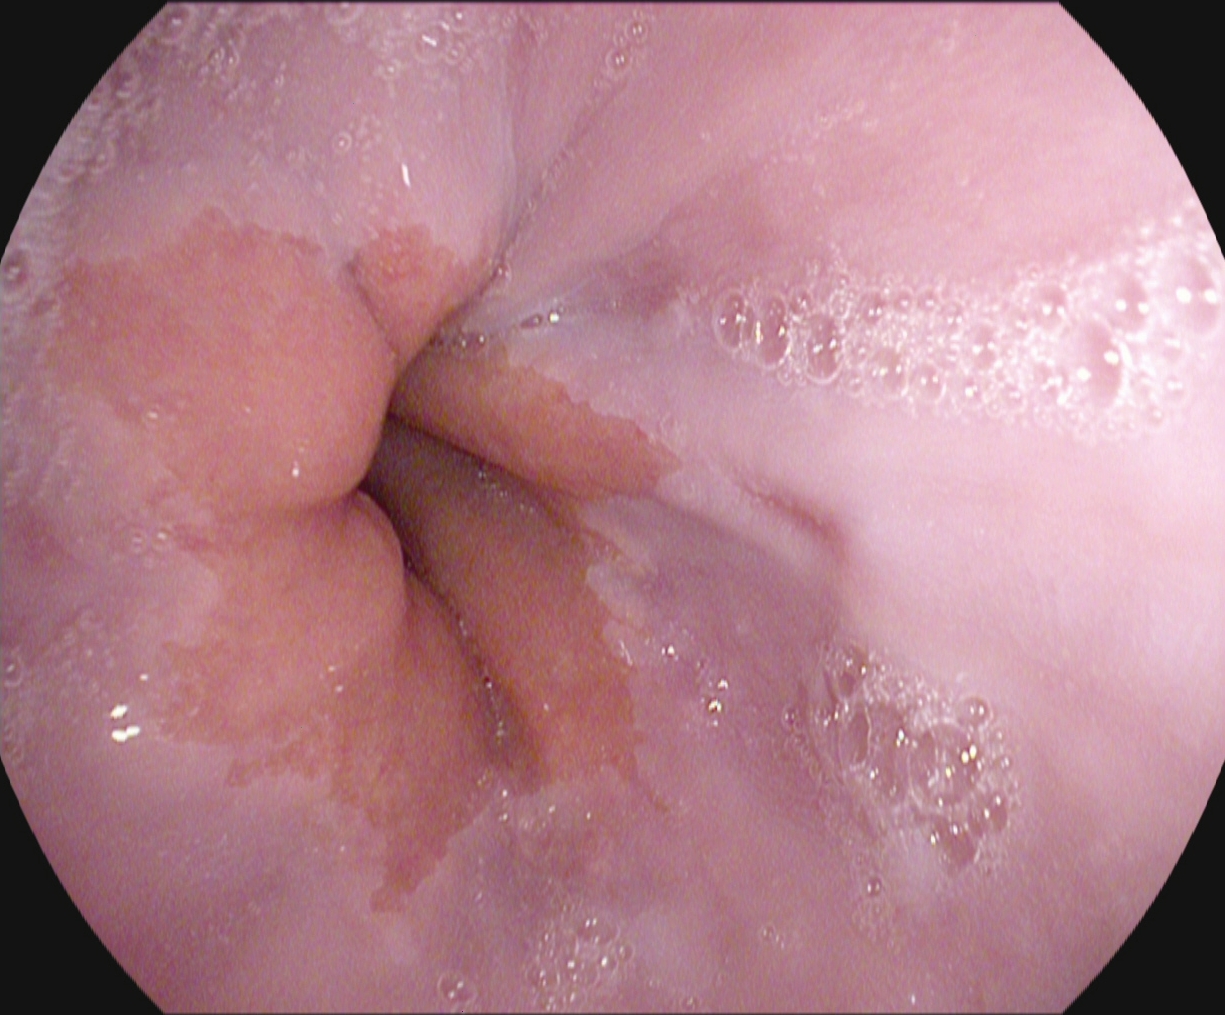{"modality": "gastroscopy", "finding": "reflux esophagitis, Los Angeles grade A"}